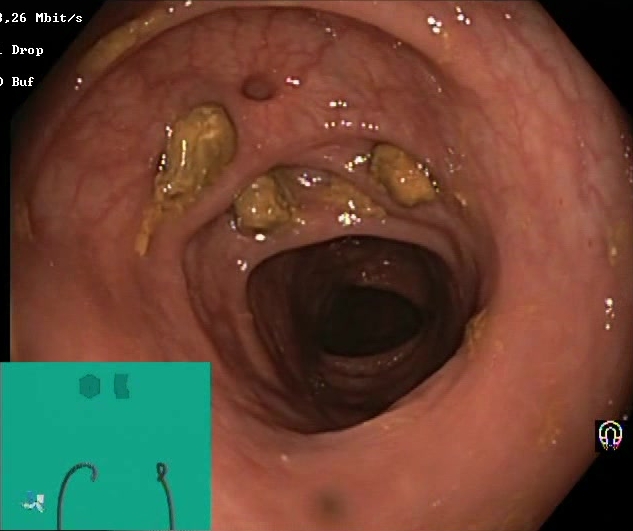{"modality": "colonoscopy", "finding": "impacted stool"}